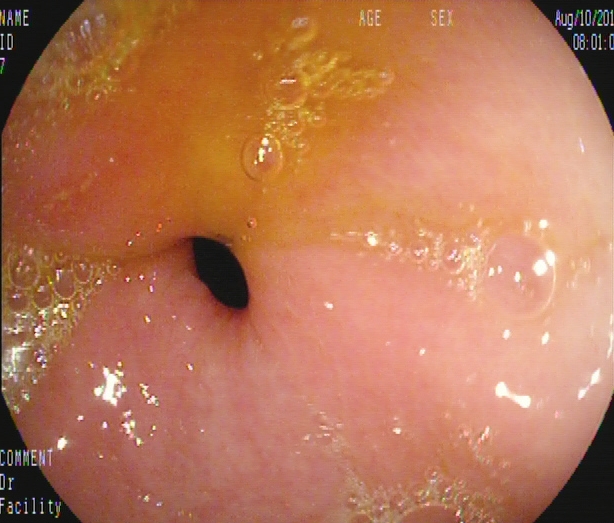This endoscopy frame of the upper GI tract shows pylorus.